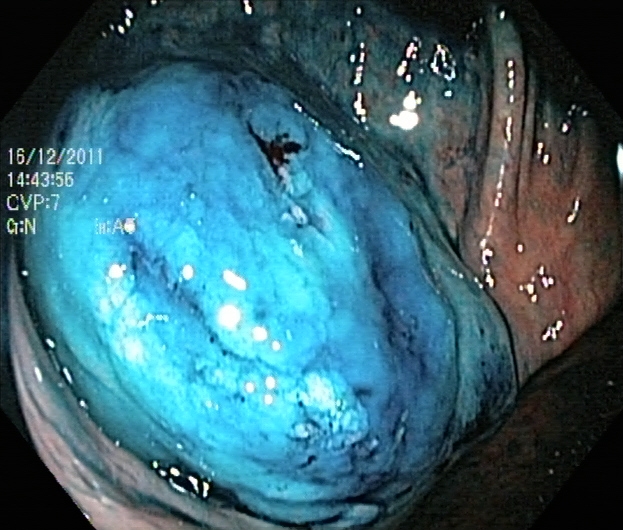Colonoscopy. Finding: dyed and lifted polyp (pre-resection).